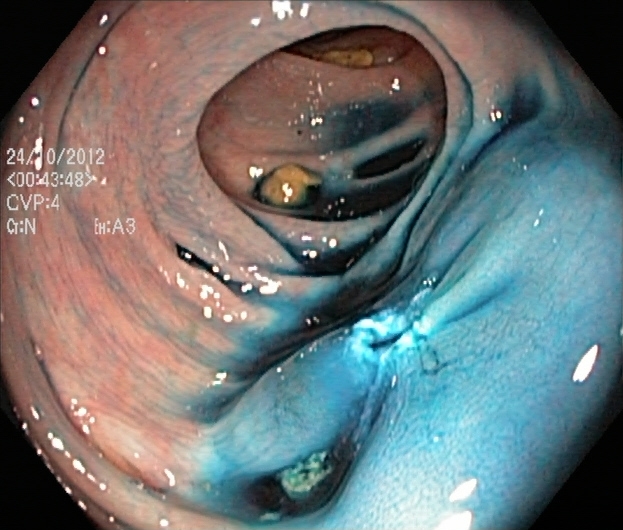PROCEDURE: Lower gastrointestinal endoscopy.
FINDINGS: Dyed resection margins (post-polypectomy).